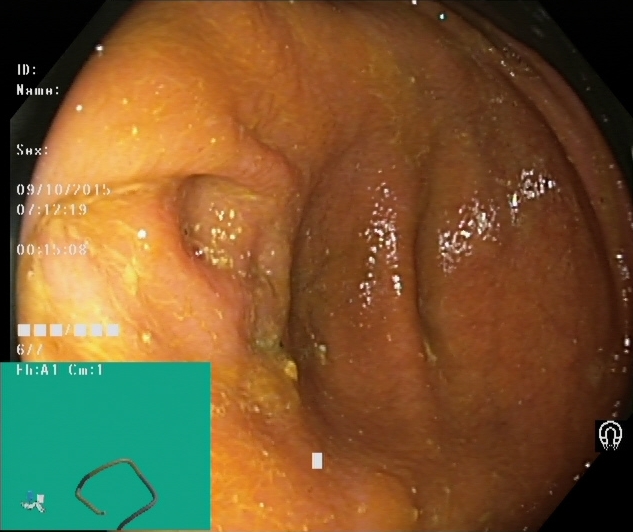Cecum.